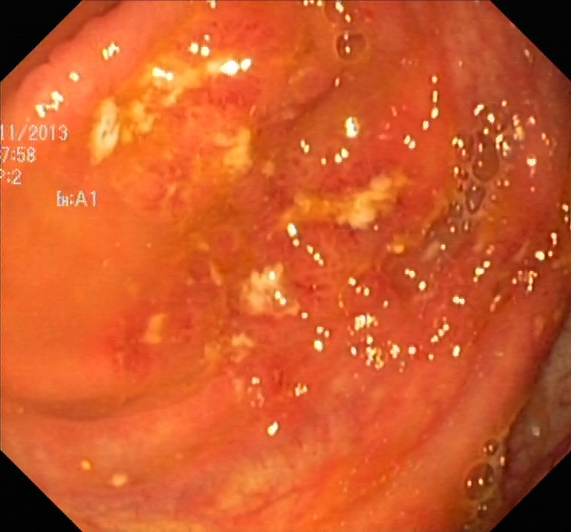Endoscopic image of the lower GI tract showing ulcerative colitis, Mayo endoscopic subscore 2.